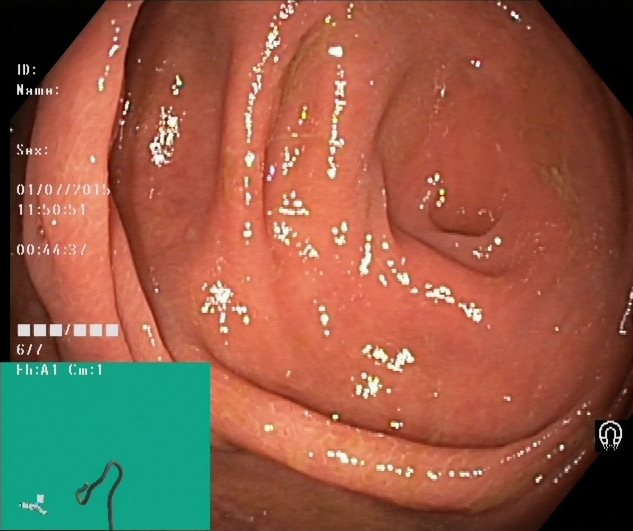{"modality": "colonoscopy", "tract": "lower GI tract", "finding": "cecum"}